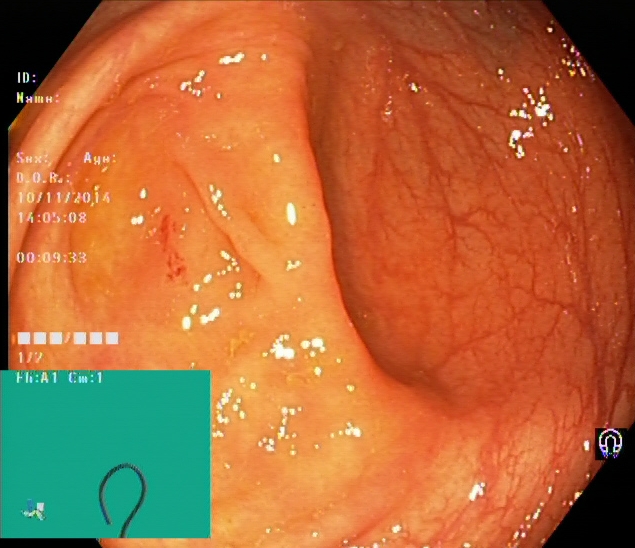PROCEDURE: Colonoscopy.
FINDINGS: Cecum.